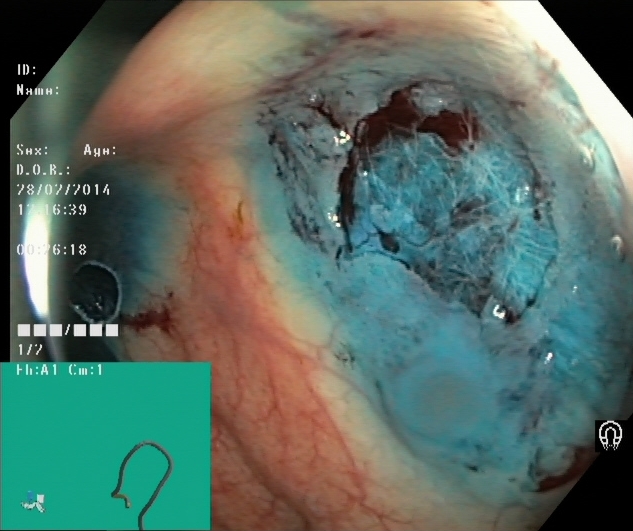Lower gastrointestinal endoscopy — dyed resection margins (post-polypectomy).